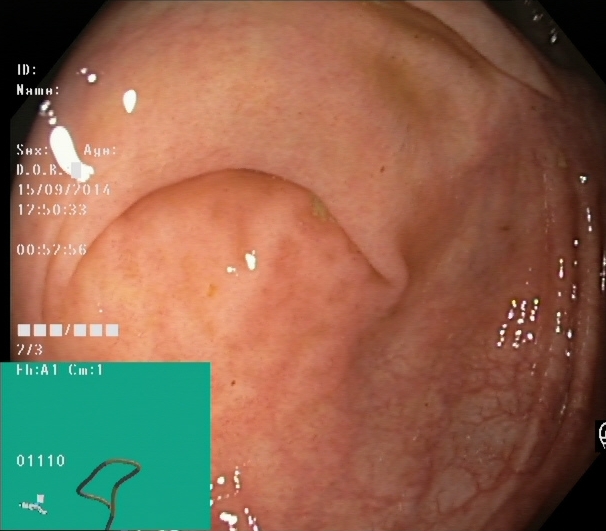Cecum.